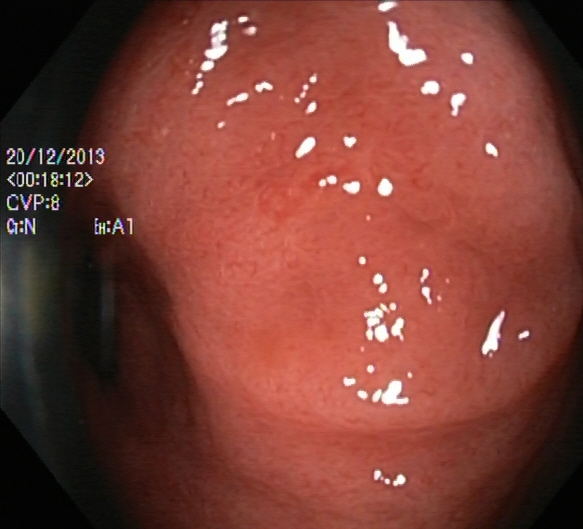Ulcerative colitis, Mayo endoscopic subscore 2.